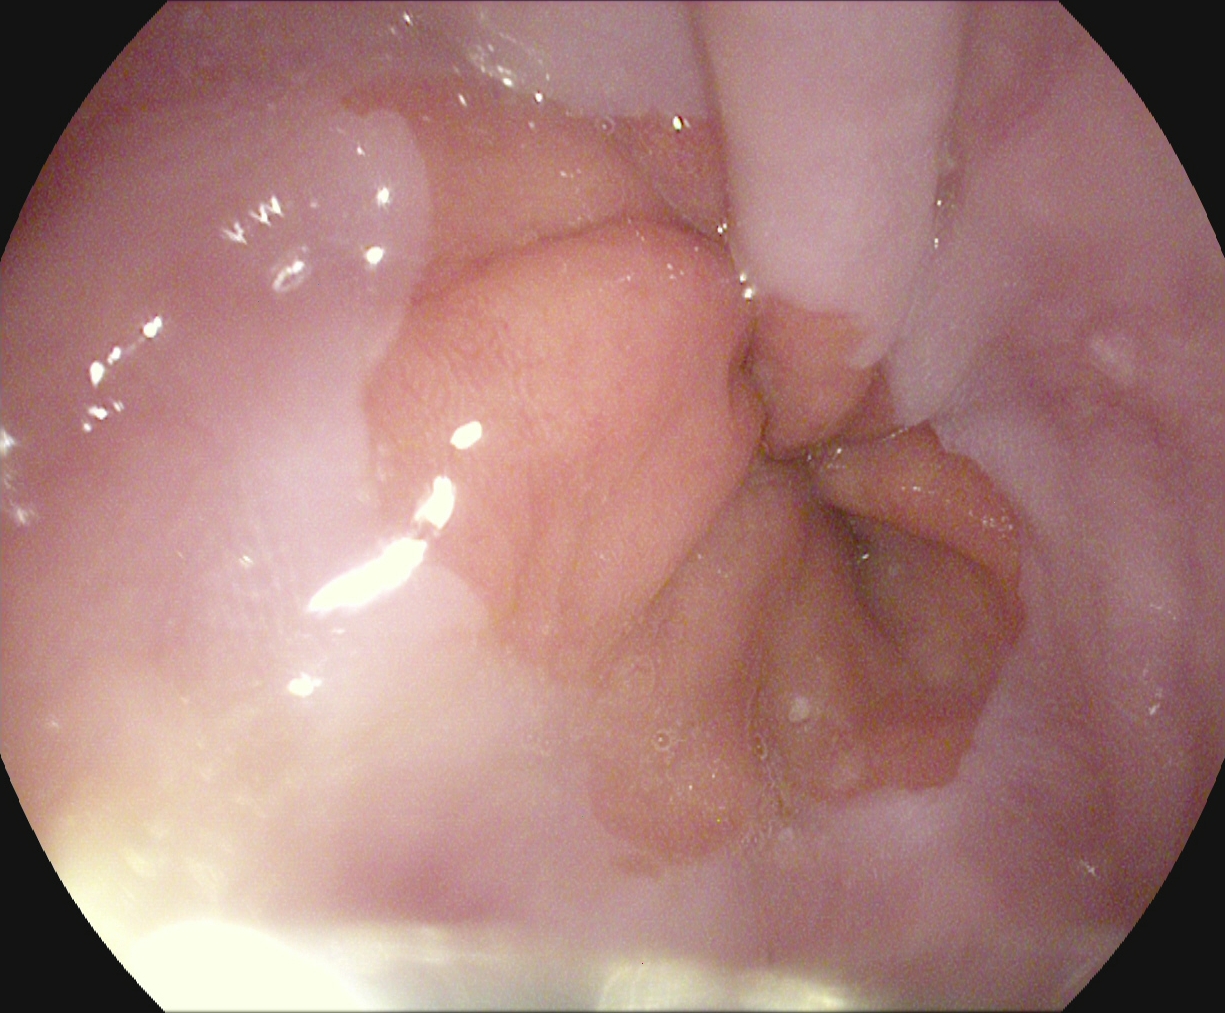PROCEDURE: Upper-GI endoscopy.
FINDINGS: Z-line (gastroesophageal junction).